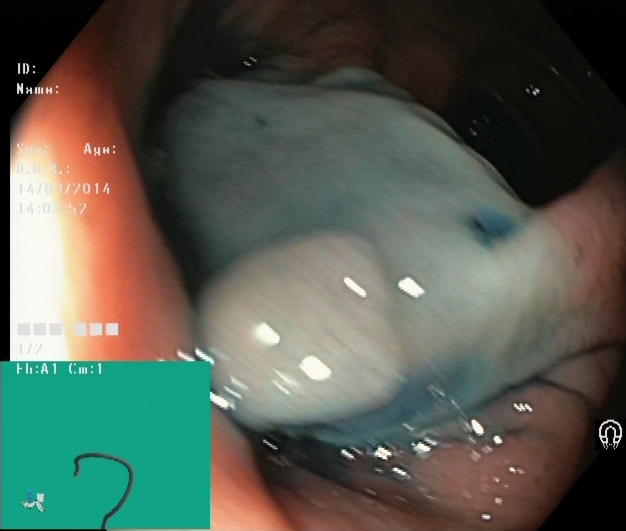{"modality": "lower-GI endoscopy", "tract": "lower GI tract", "finding": "dyed and lifted polyp (pre-resection)"}